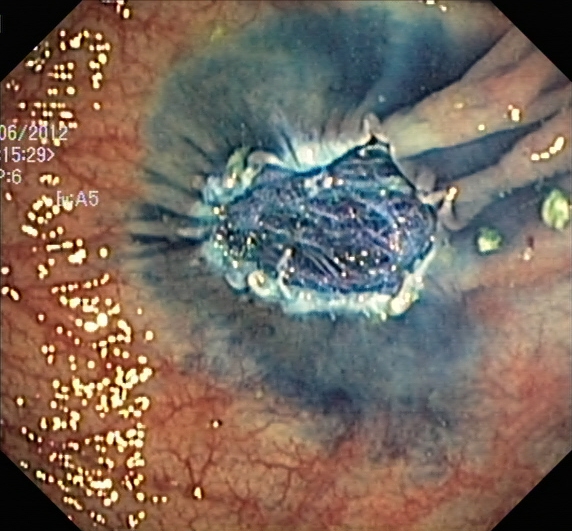modality: colonoscopy
finding: dyed resection margins (post-polypectomy)